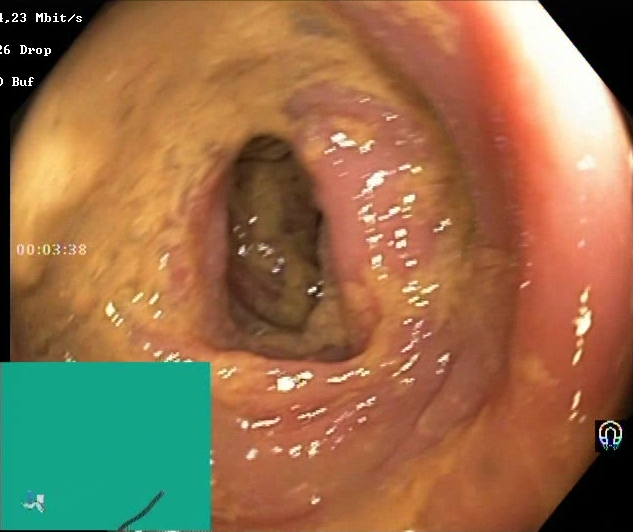{"modality": "lower gastrointestinal endoscopy", "category": "mucosal-view quality", "finding": "Boston Bowel Preparation Scale score 0\u20131 (inadequate preparation)"}